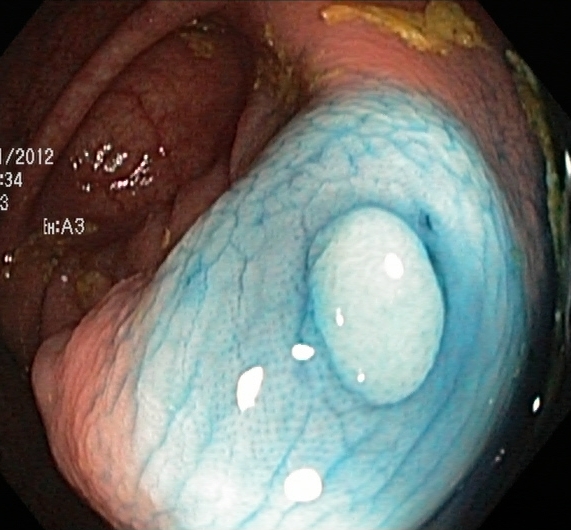Endoscopic frame of the lower GI tract showing dyed and lifted polyp (pre-resection).